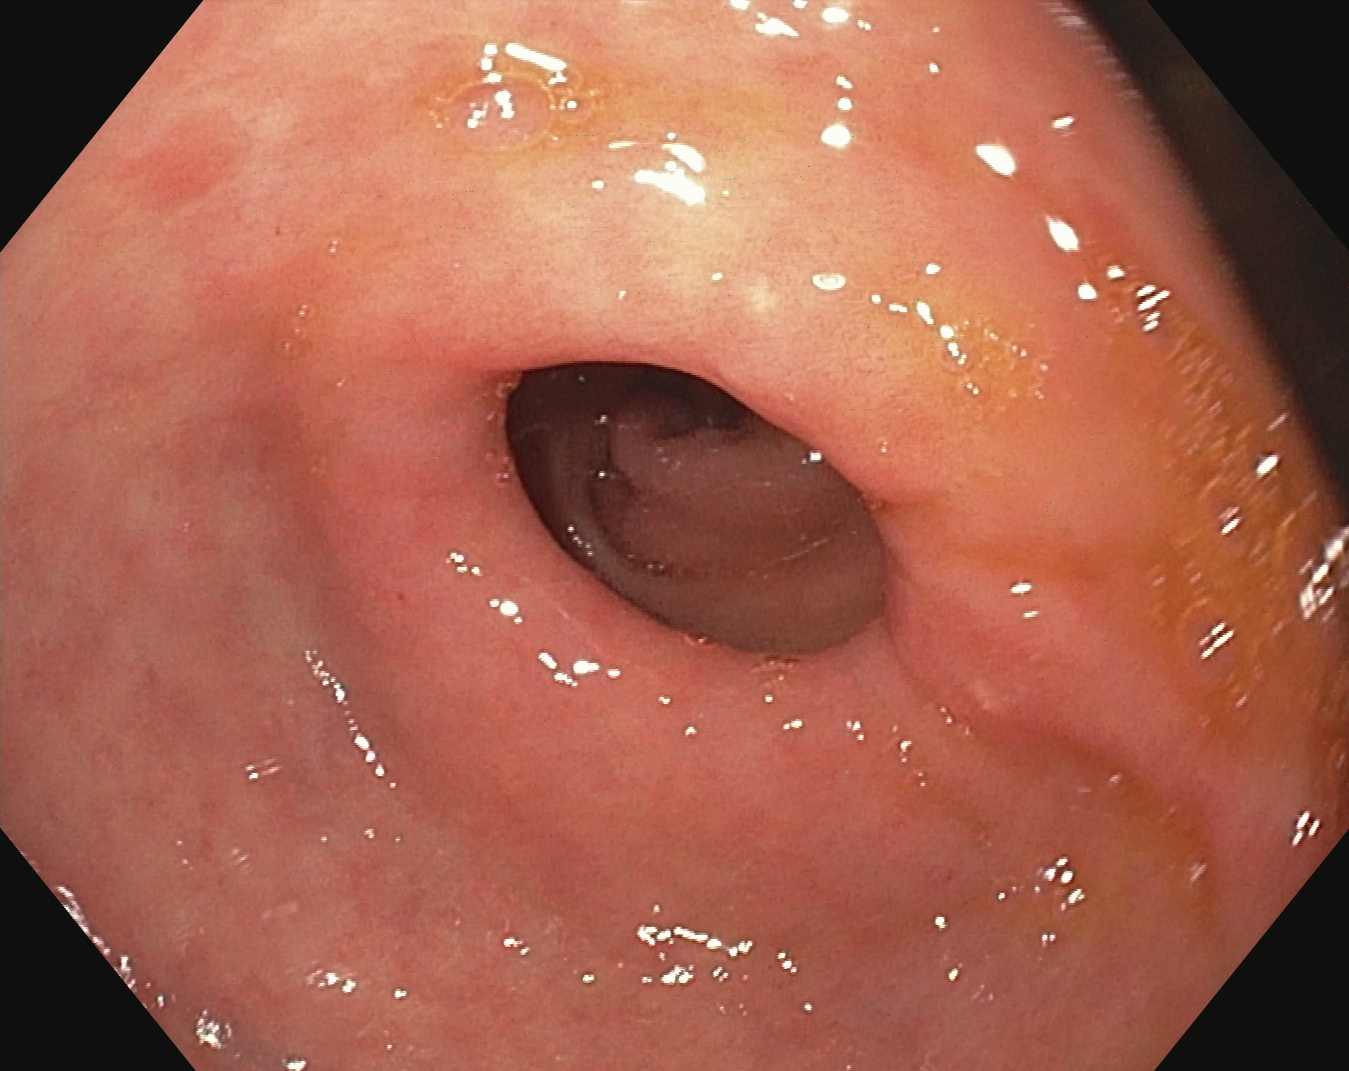{"modality": "upper-GI endoscopy", "tract": "upper GI tract", "finding": "pylorus"}